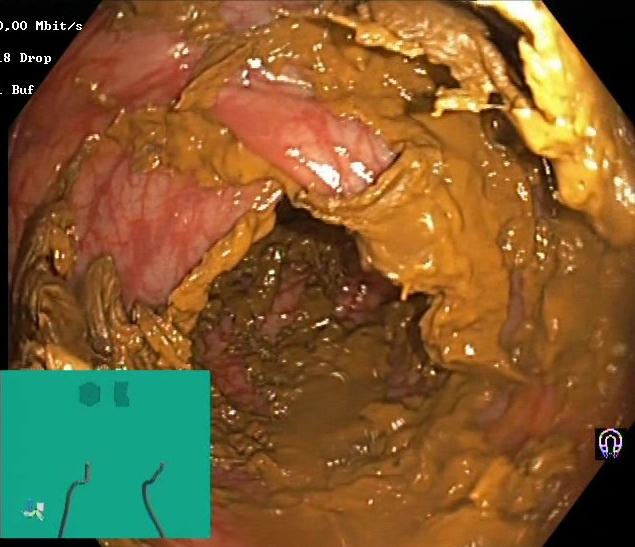This endoscopic image shows Boston Bowel Preparation Scale score 0–1 (inadequate preparation).